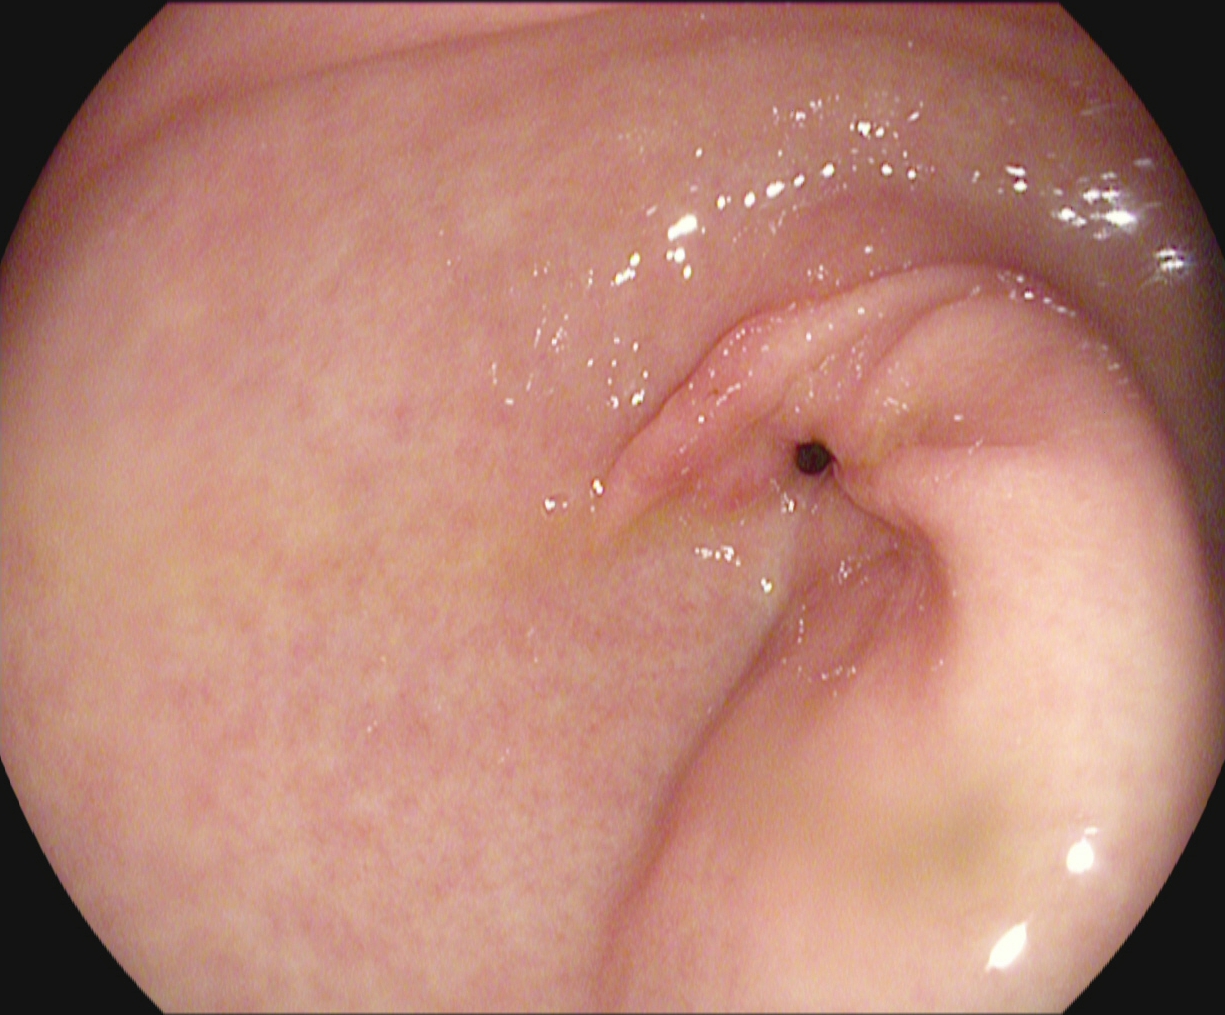This endoscopy frame shows pylorus.